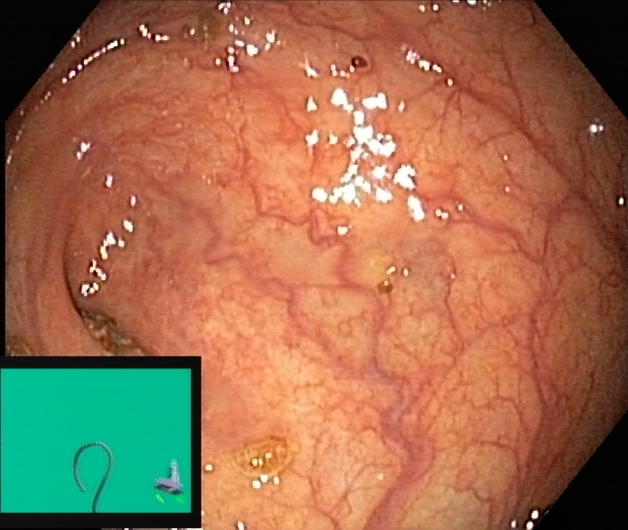PROCEDURE: Lower-GI endoscopy.
FINDINGS: Cecum.